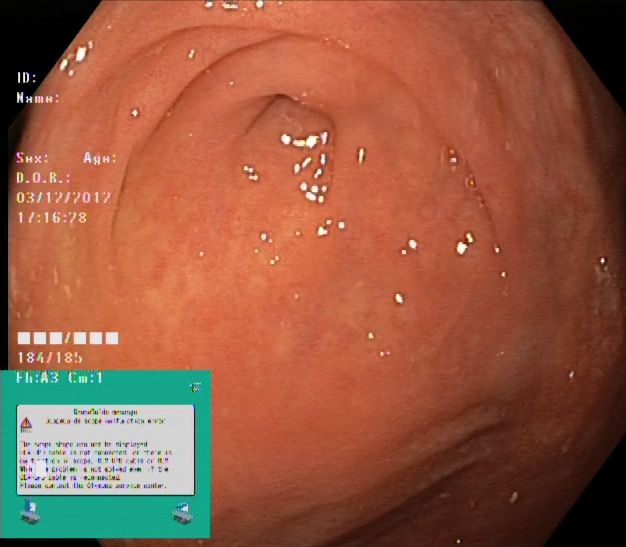Lower-GI endoscopy. Tract: lower GI tract. Finding: cecum.